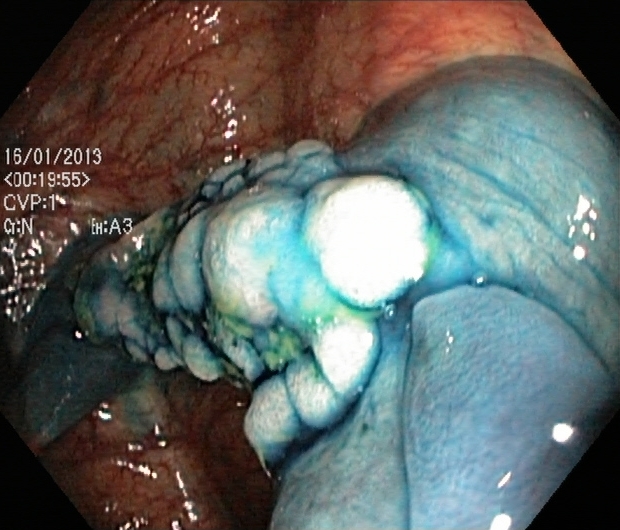modality: lower-GI endoscopy
finding: dyed and lifted polyp (pre-resection)